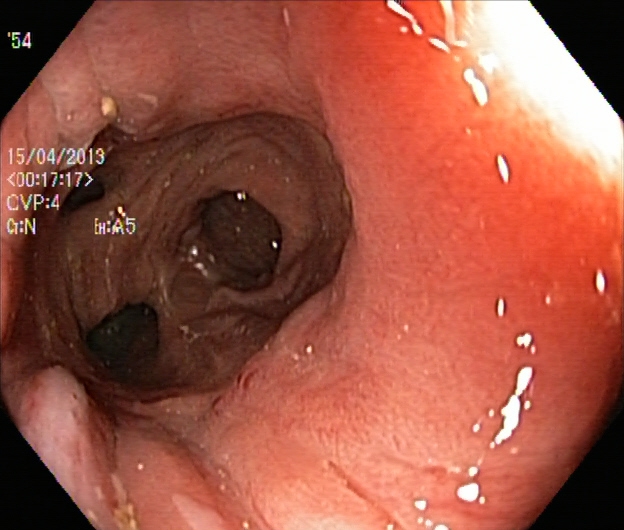modality: lower-GI endoscopy | tract: lower GI tract | finding: ulcerative colitis, Mayo endoscopic subscore 2